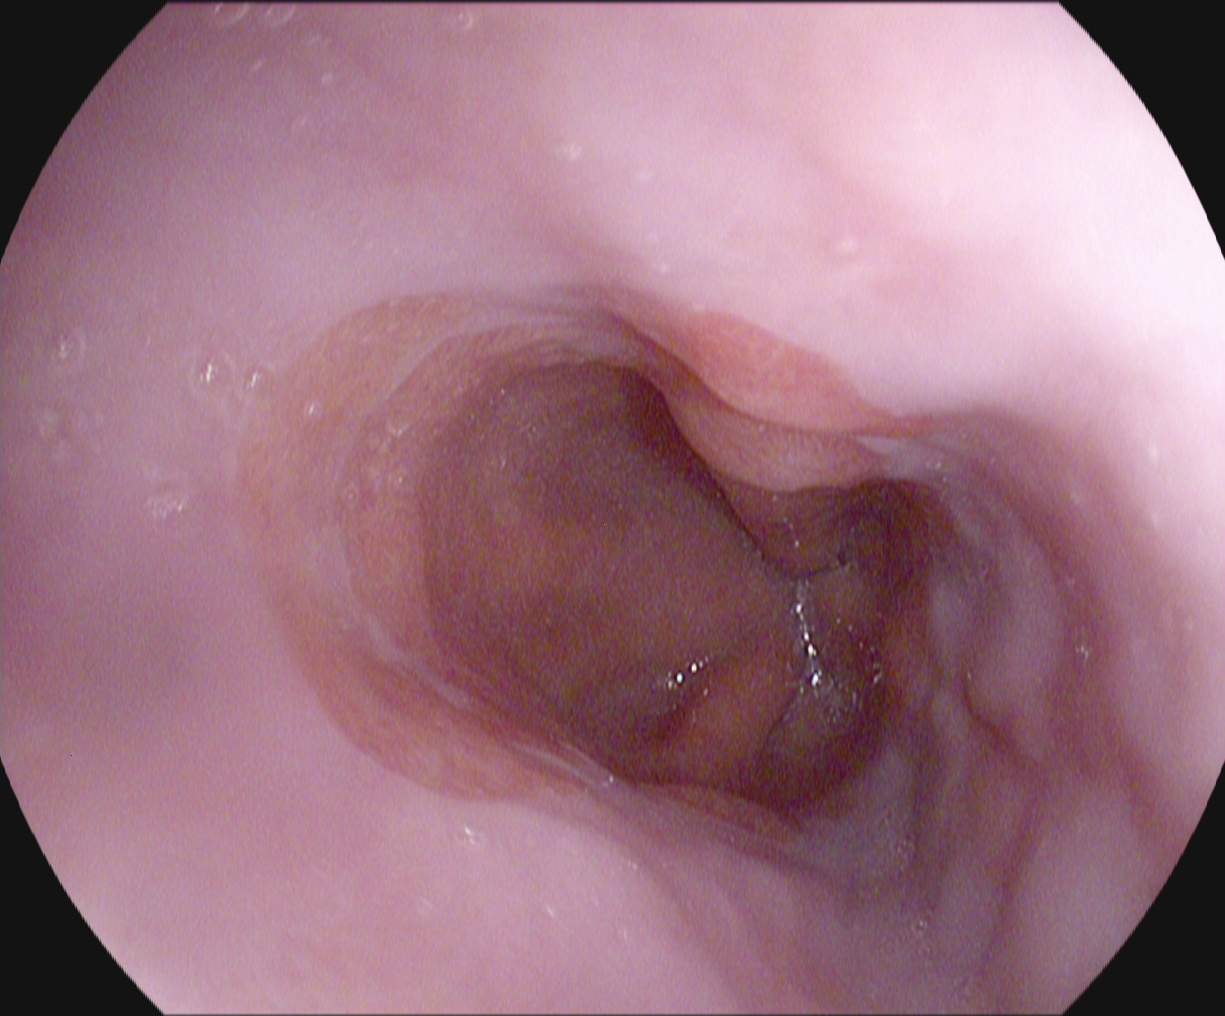EGD image of the upper GI tract showing Barrett's esophagus.